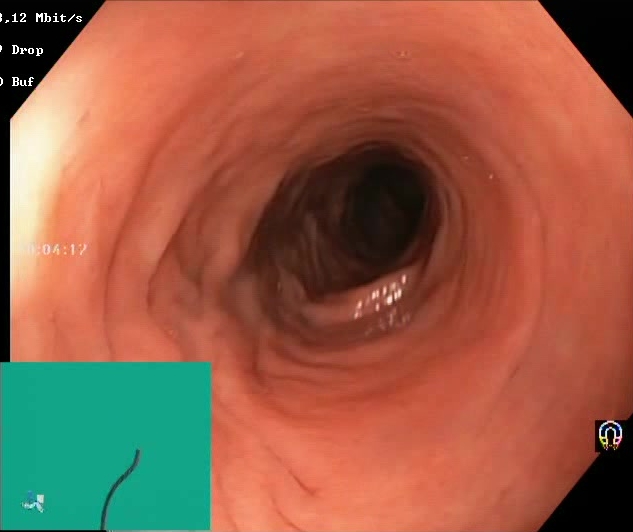Colonoscopy — Boston Bowel Preparation Scale score 2–3 (adequate preparation).